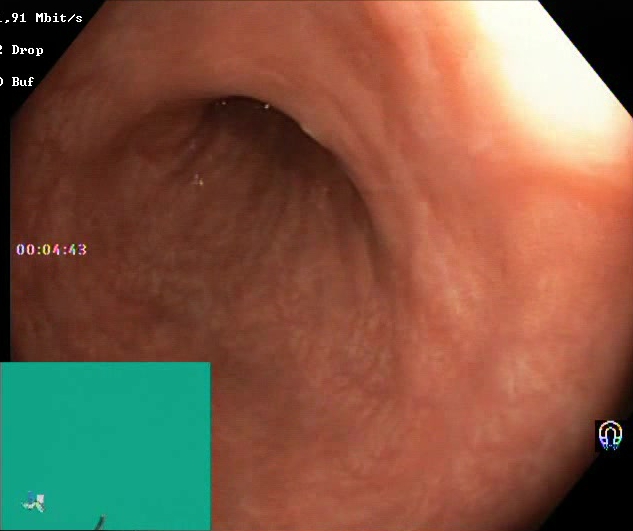Lower gastrointestinal endoscopy. Tract: lower GI tract. Finding: Boston Bowel Preparation Scale score 2–3 (adequate preparation).